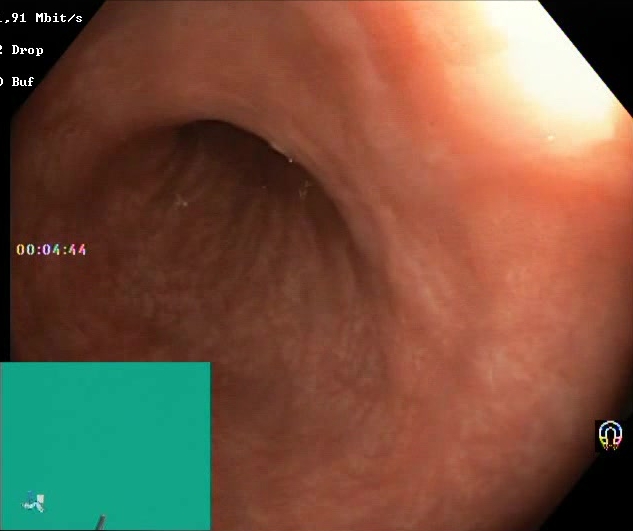Lower gastrointestinal endoscopy. Finding: Boston Bowel Preparation Scale score 2–3 (adequate preparation).